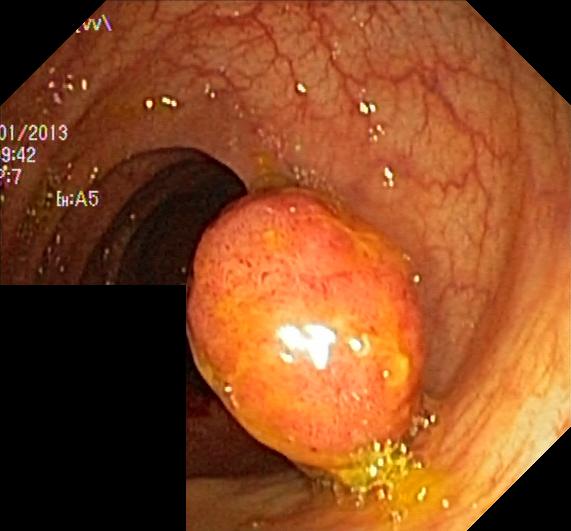modality: lower gastrointestinal endoscopy
tract: lower GI tract
finding: colorectal polyp(s)